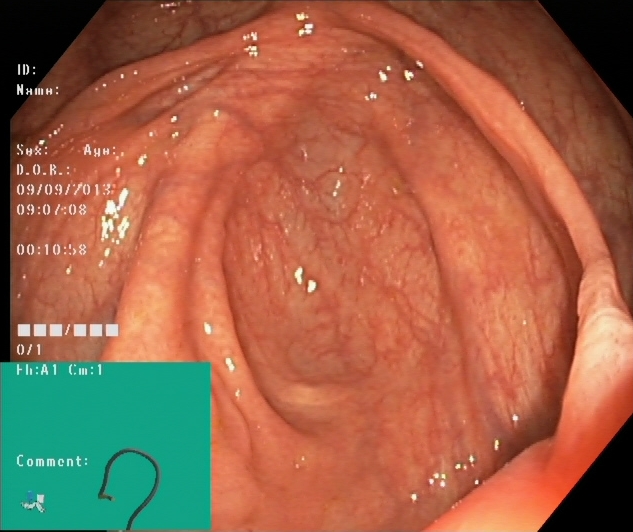cecum.